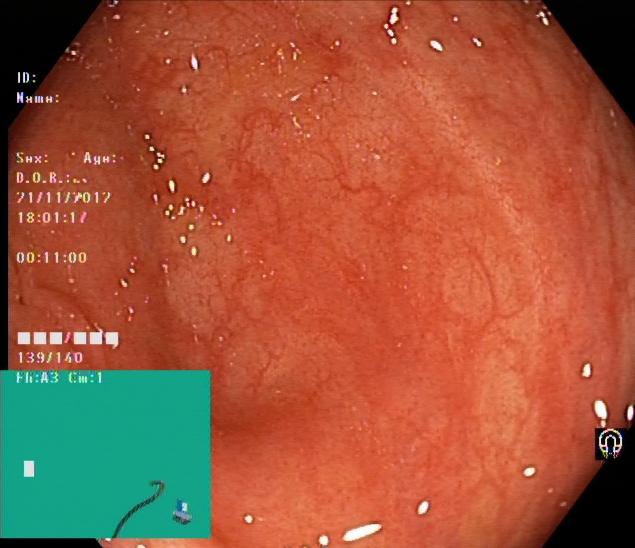Ulcerative colitis, Mayo endoscopic subscore 0–1.